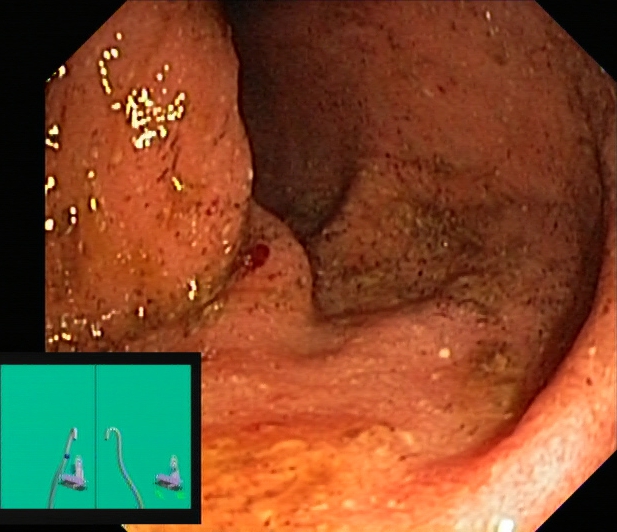PROCEDURE: Colonoscopy.
FINDINGS: UC, Mayo endoscopic subscore 2.